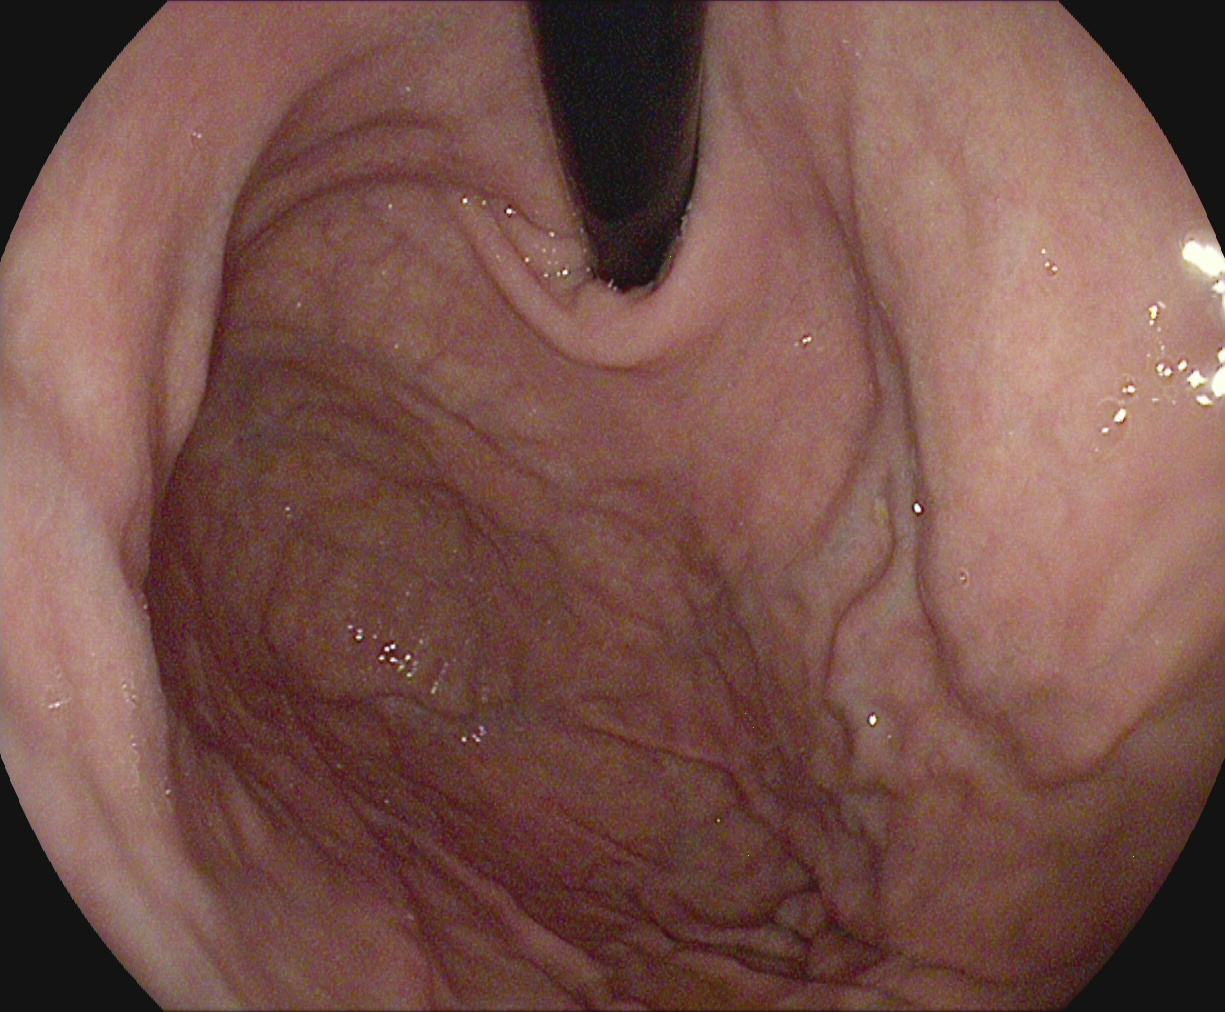PROCEDURE: Esophagogastroduodenoscopy.
FINDINGS: Stomach in retroflexion.